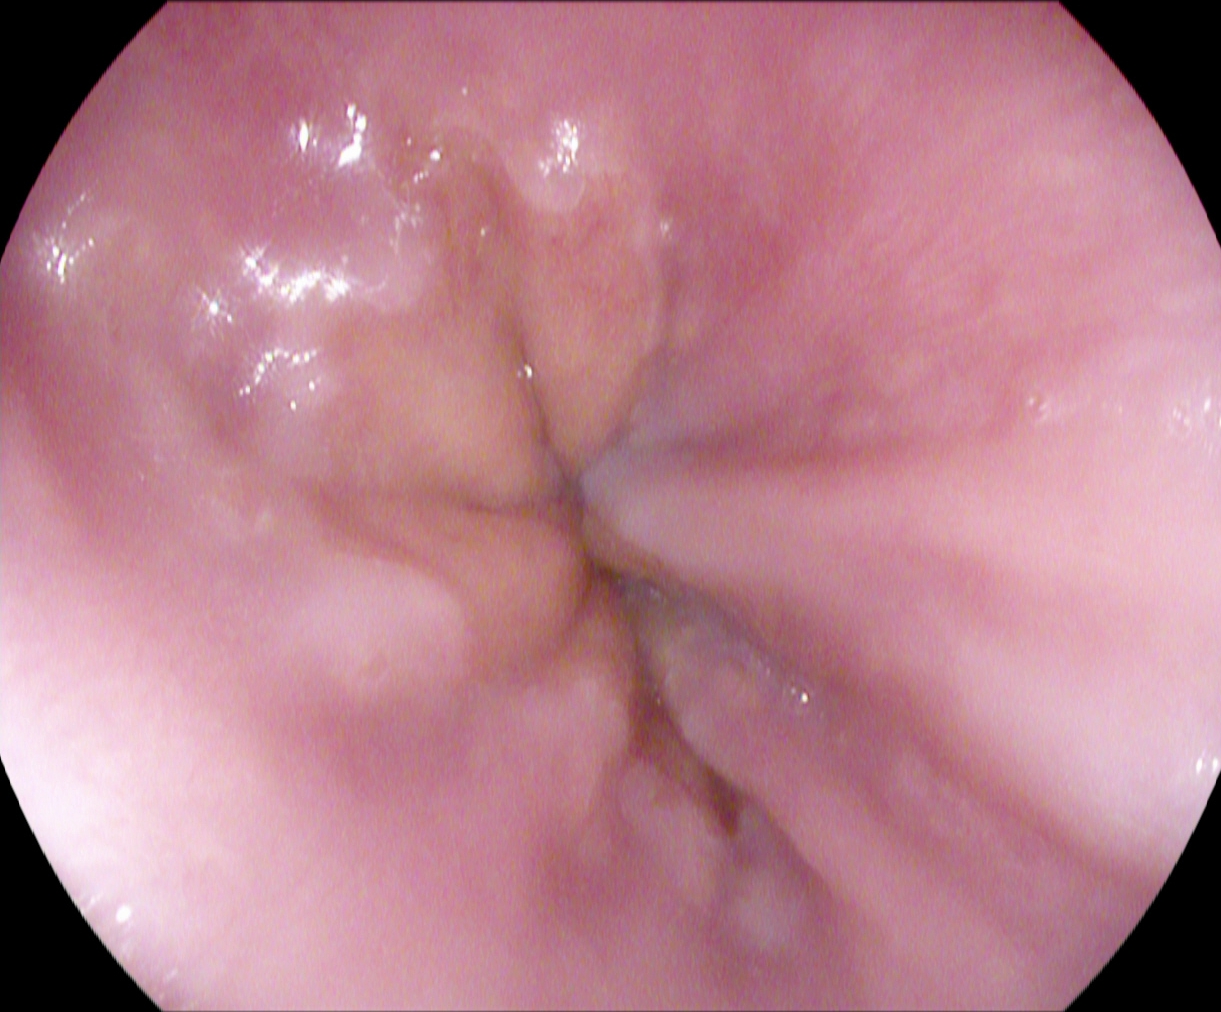{"modality": "EGD", "category": "anatomical landmark", "finding": "Z-line (gastroesophageal junction)"}